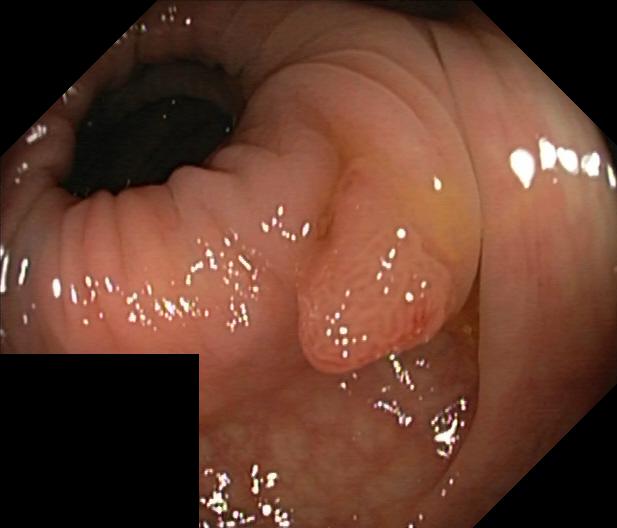{"modality": "lower gastrointestinal endoscopy", "tract": "lower GI tract", "category": "pathological finding", "finding": "colorectal polyp(s)"}